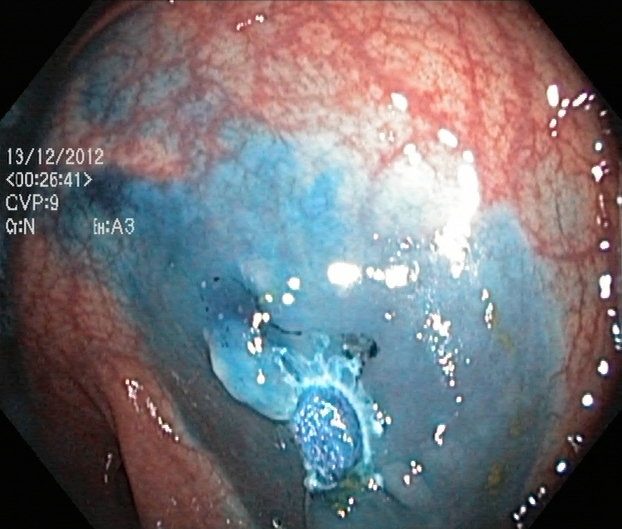Gastrointestinal endoscopy image showing dyed resection margins (post-polypectomy).